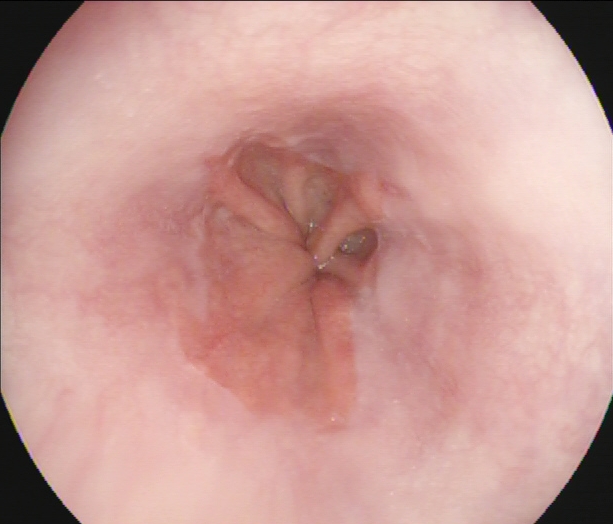PROCEDURE: Esophagogastroduodenoscopy.
CATEGORY: Pathological finding.
FINDINGS: Barrett's esophagus.